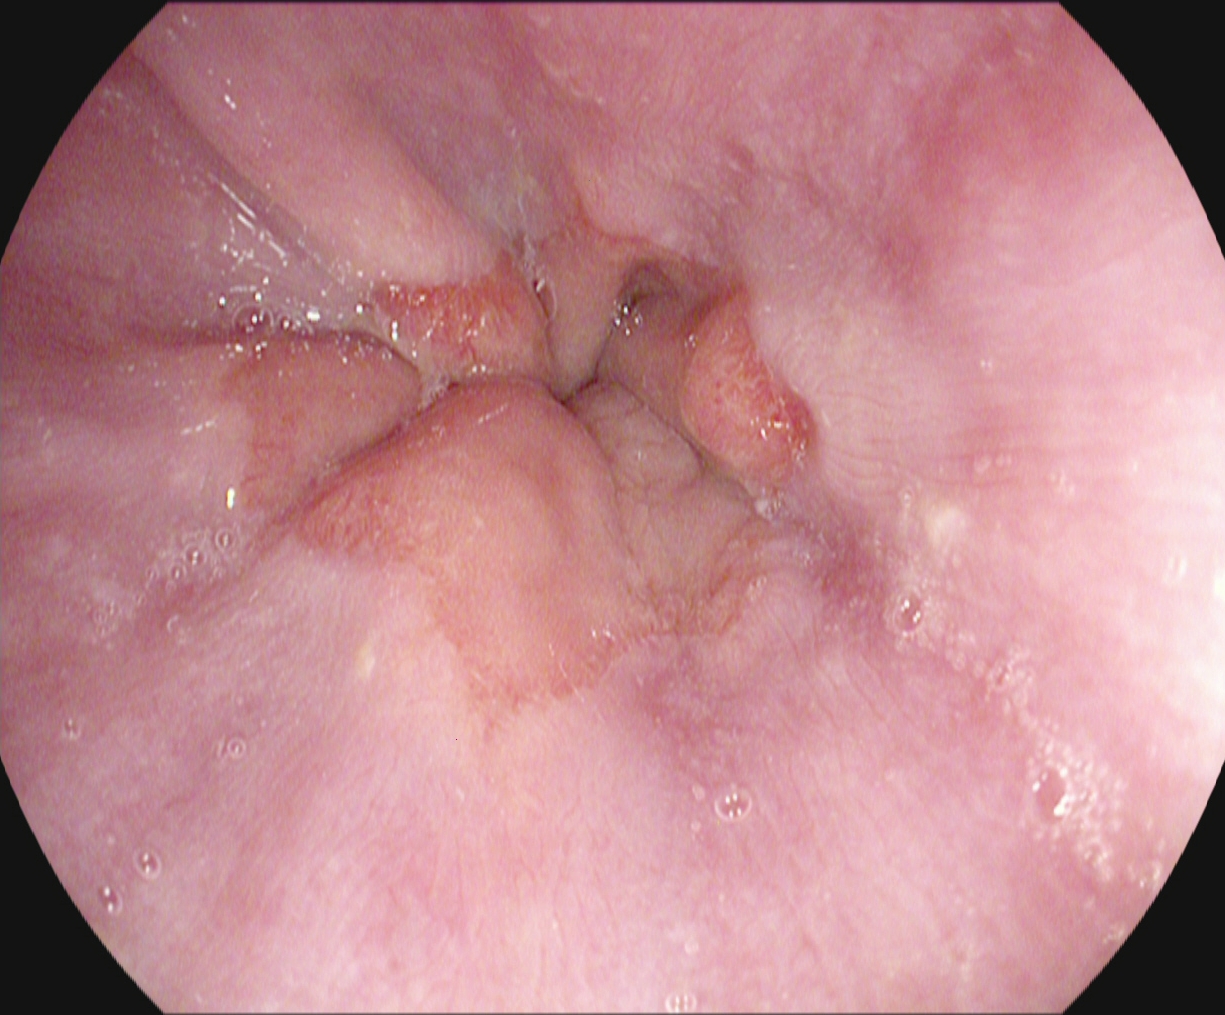PROCEDURE: Esophagogastroduodenoscopy.
FINDINGS: Z-line (gastroesophageal junction).